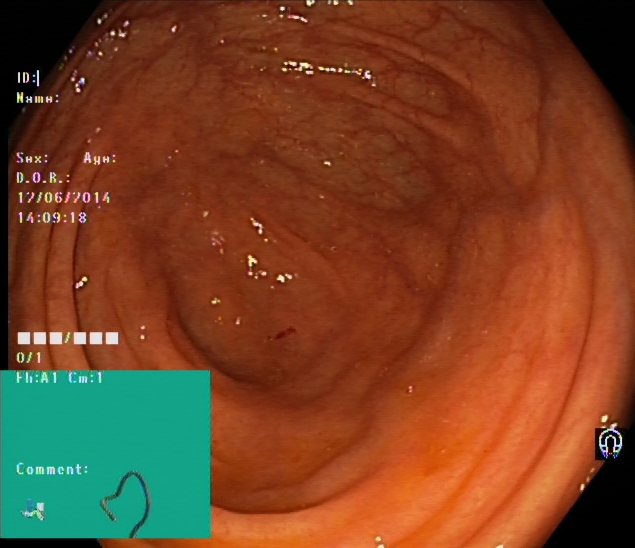PROCEDURE: Lower gastrointestinal endoscopy.
FINDINGS: Cecum.